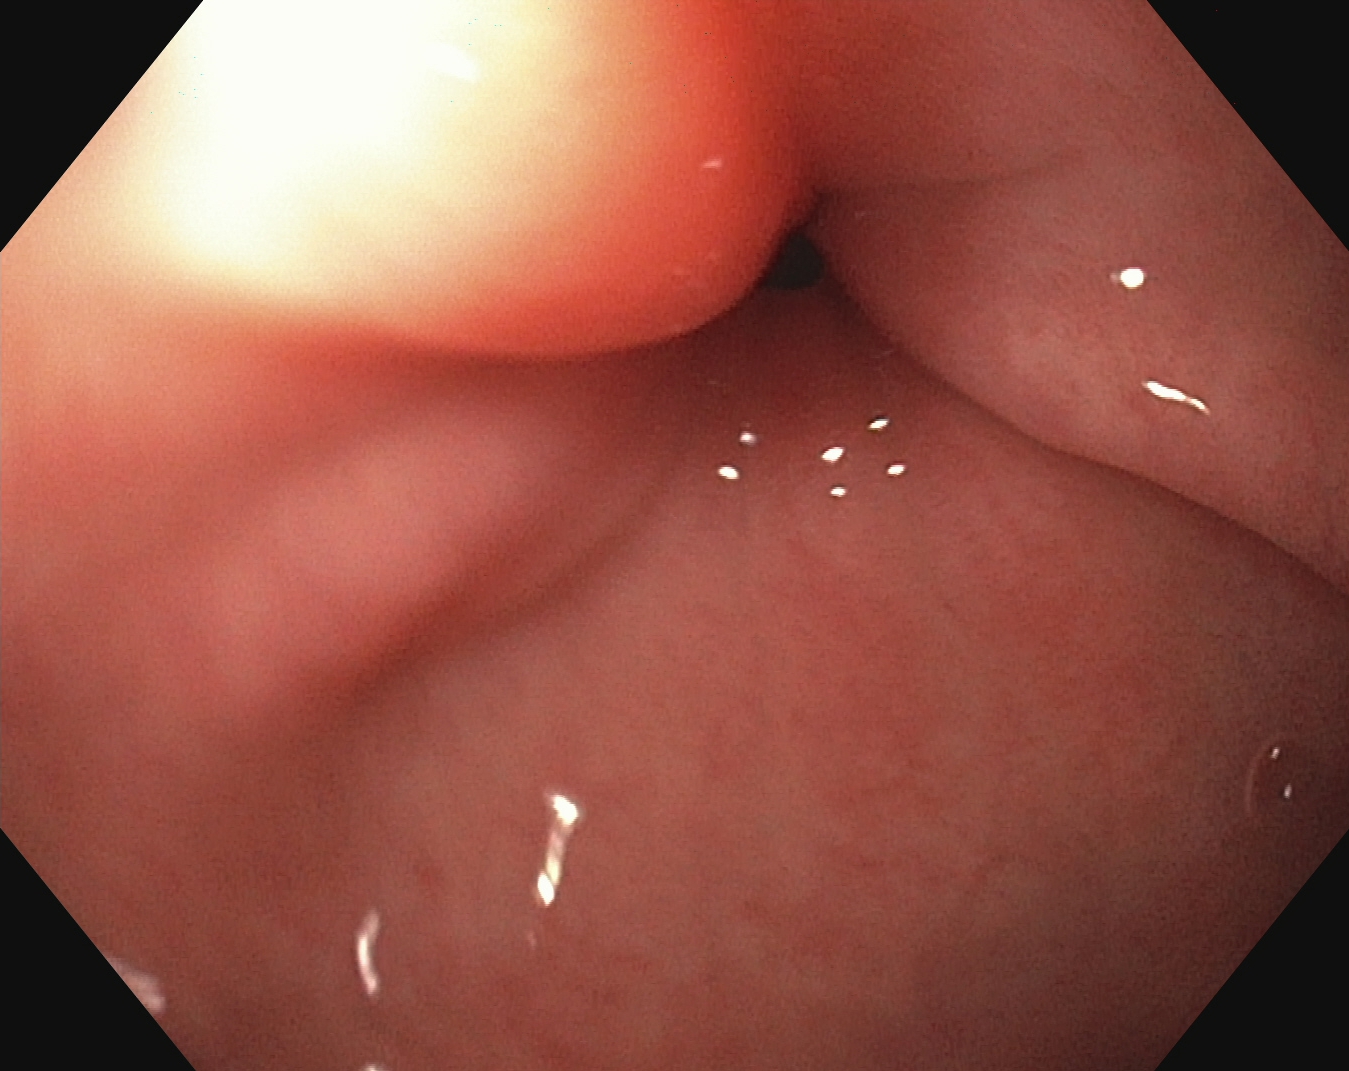{"modality": "EGD", "tract": "upper GI tract", "finding": "pylorus"}